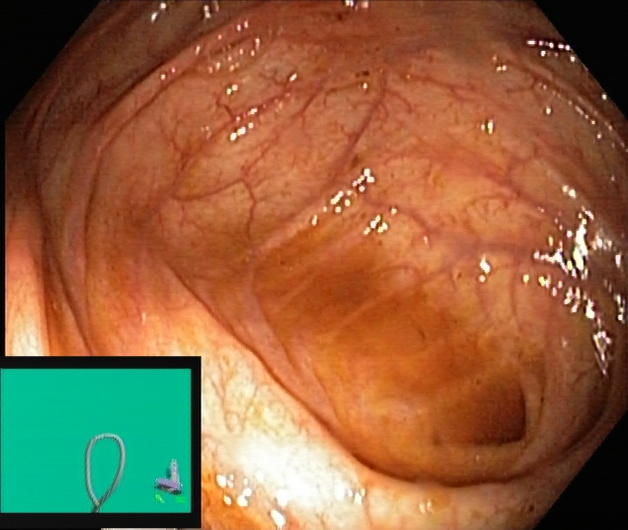Endoscopic frame of the lower GI tract showing cecum.